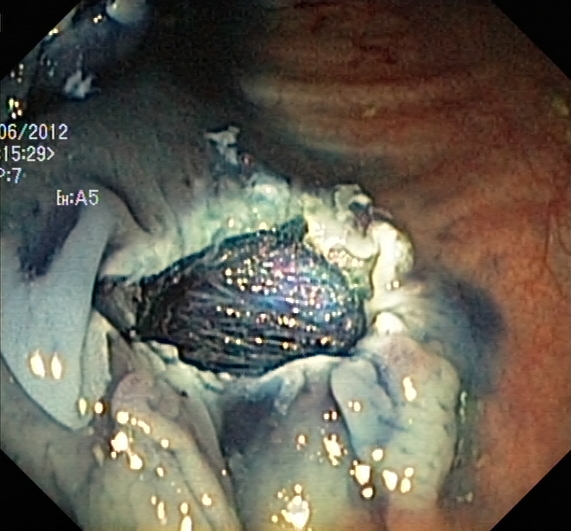Endoscopy image showing dyed resection margins (post-polypectomy).